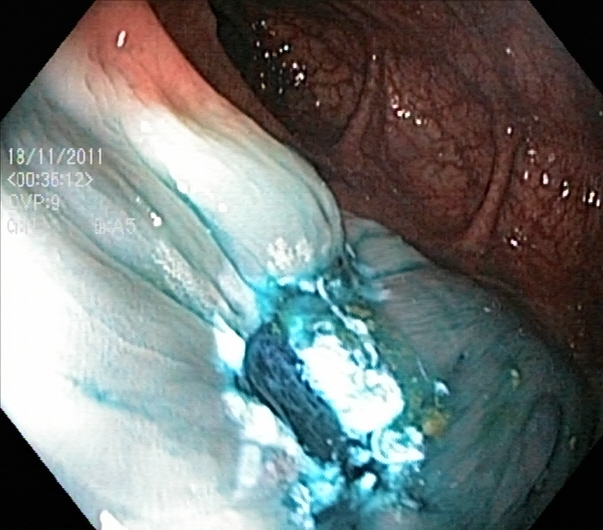Lower-GI endoscopy — dyed resection margins (post-polypectomy).